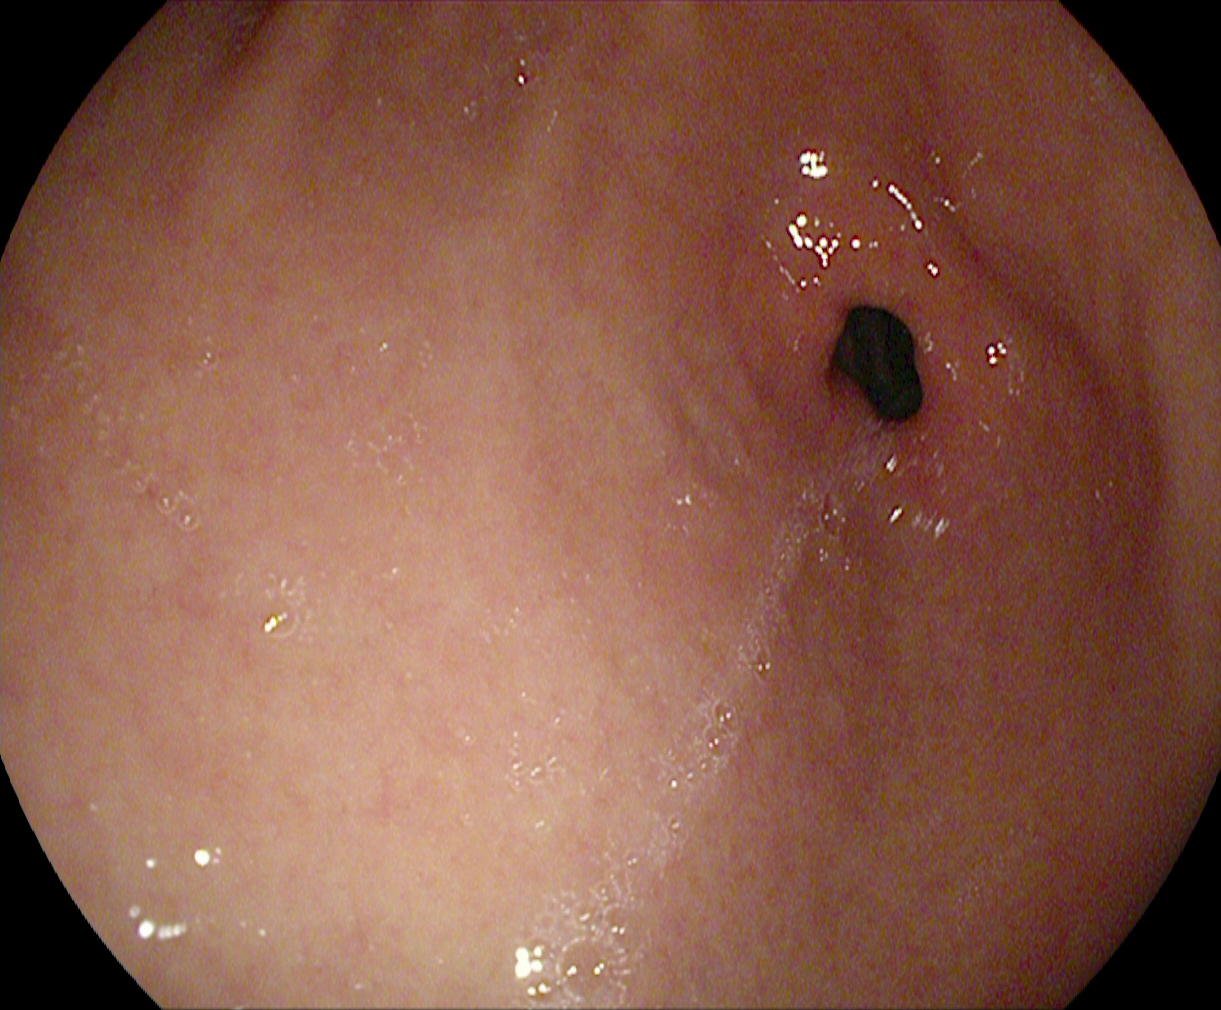PROCEDURE: Upper-GI endoscopy.
FINDINGS: Pylorus.